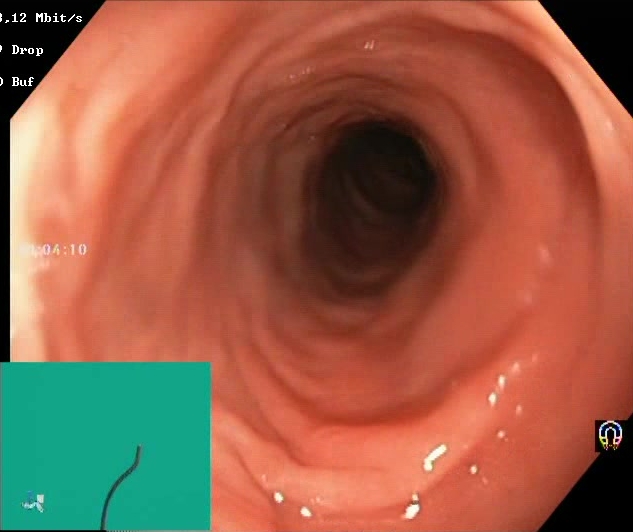BBPS score 2–3 (adequate preparation).